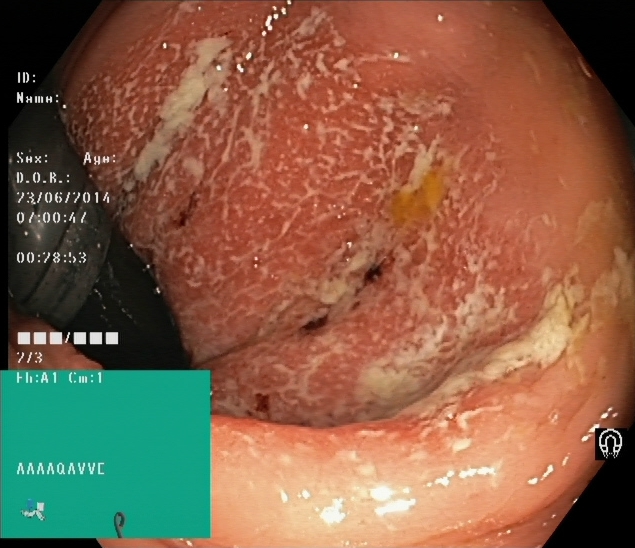UC, Mayo endoscopic subscore 2.